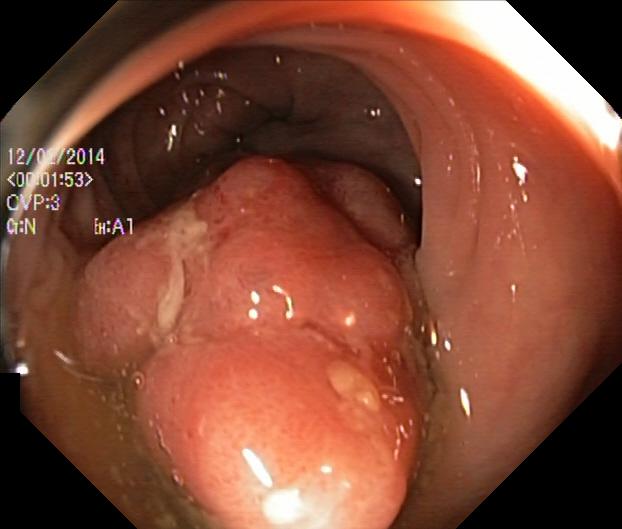Colorectal polyp(s).